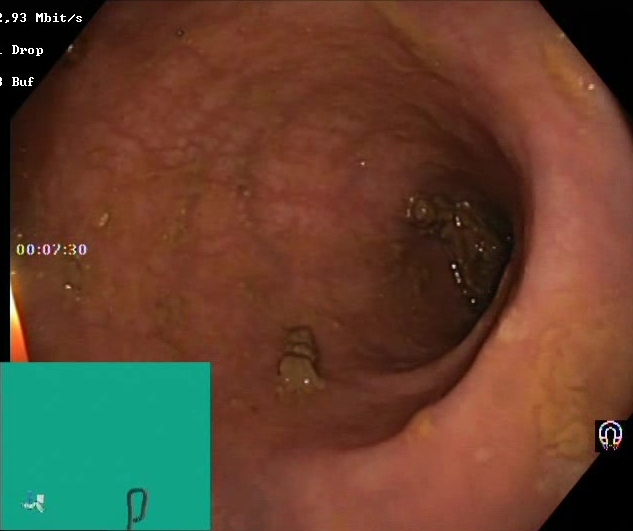Endoscopic image of the lower GI tract showing Boston Bowel Preparation Scale score 2–3 (adequate preparation).